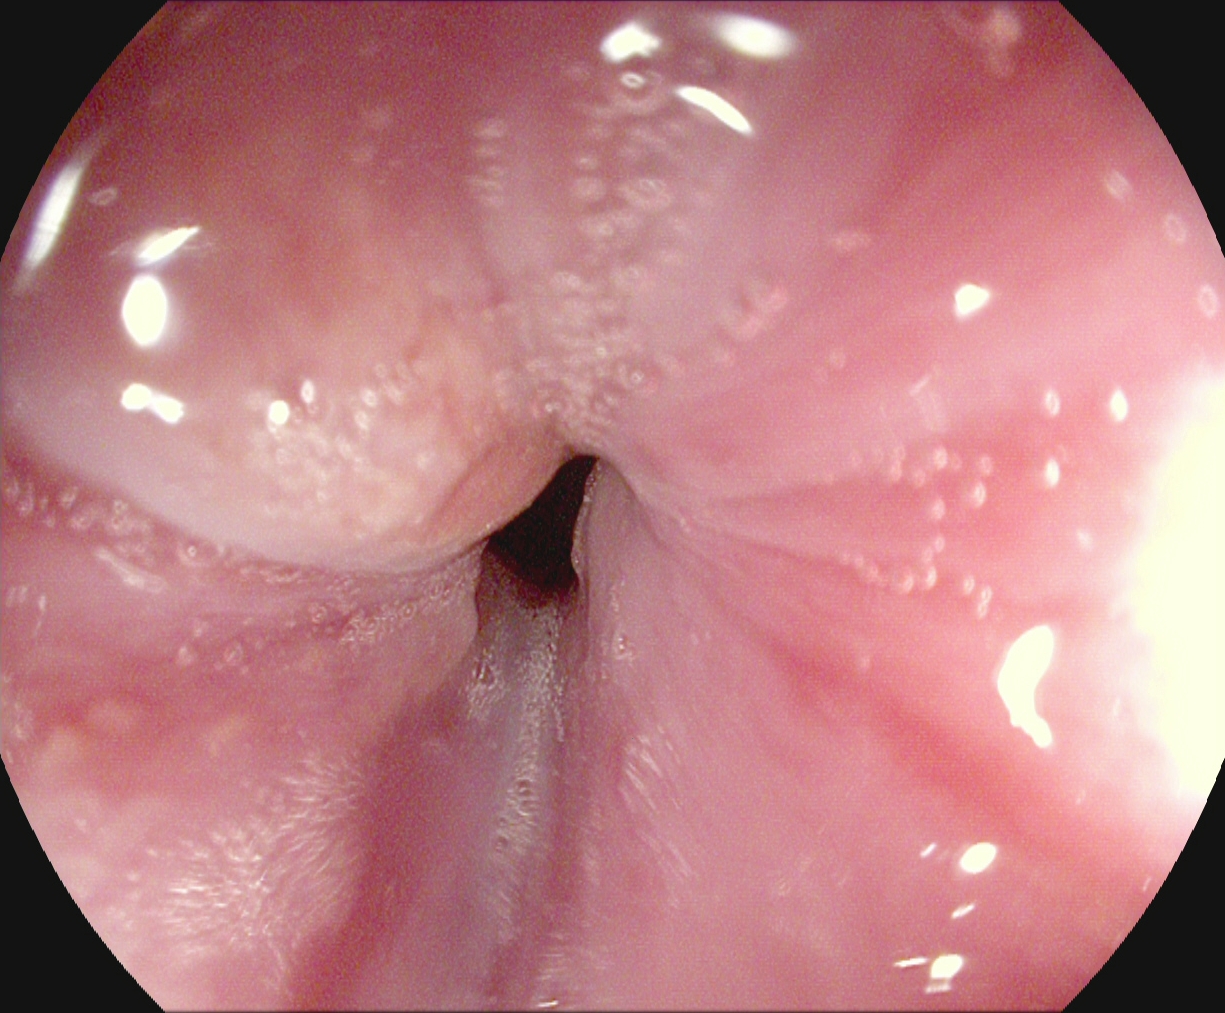This endoscopic image of the upper GI tract shows Z-line (gastroesophageal junction).